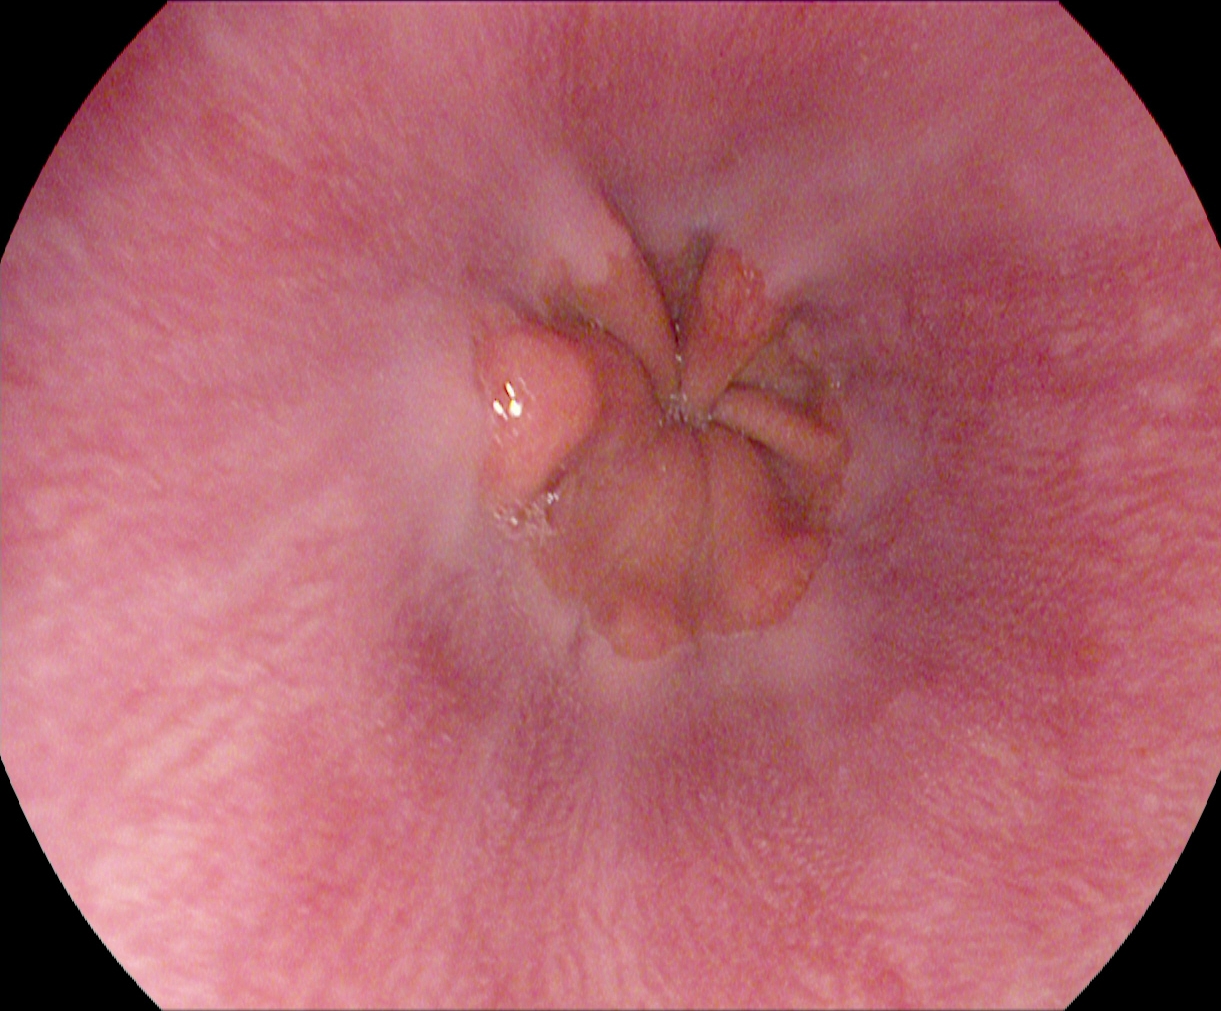Z-line (gastroesophageal junction).